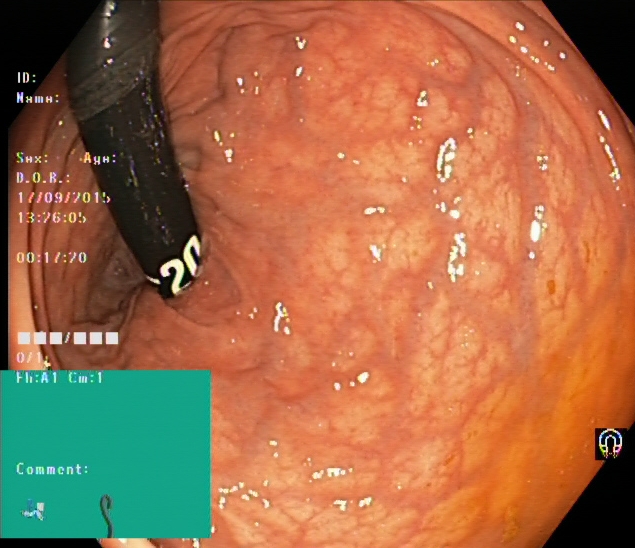This endoscopic image of the lower GI tract shows rectum in retroflexion.